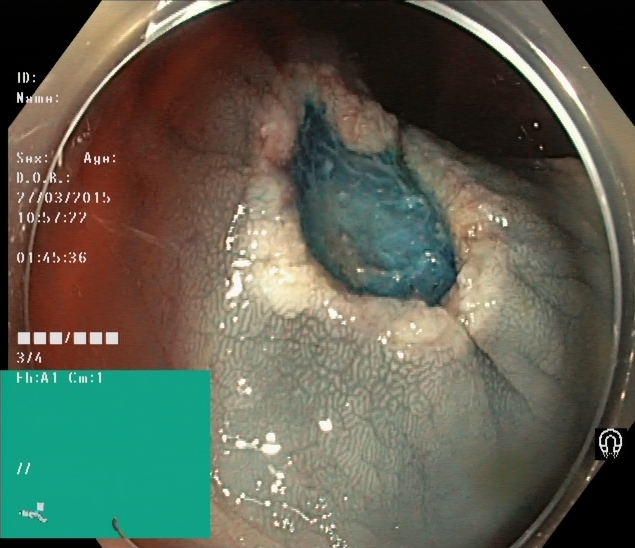{"modality": "colonoscopy", "tract": "lower GI tract", "category": "therapeutic intervention", "finding": "dyed resection margins (post-polypectomy)"}